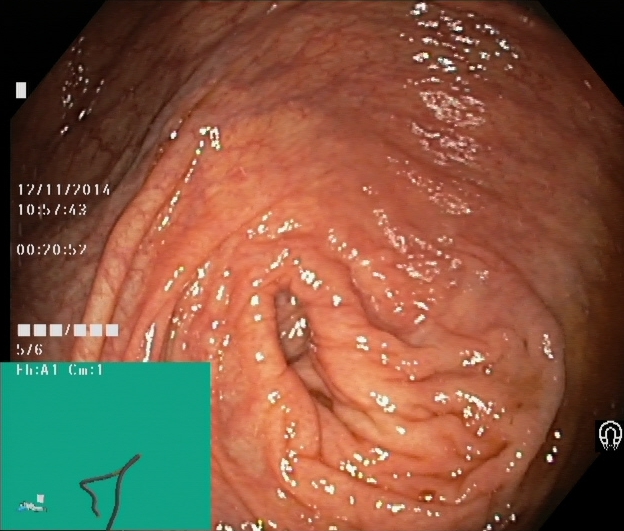cecum.